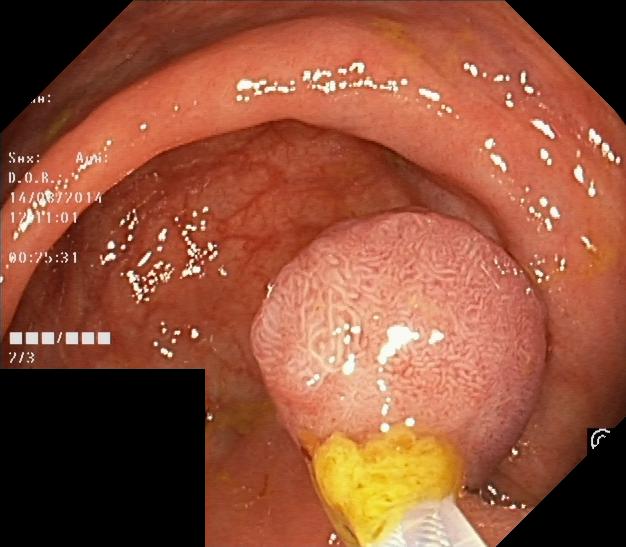PROCEDURE: Lower gastrointestinal endoscopy.
FINDINGS: Colorectal polyp(s).